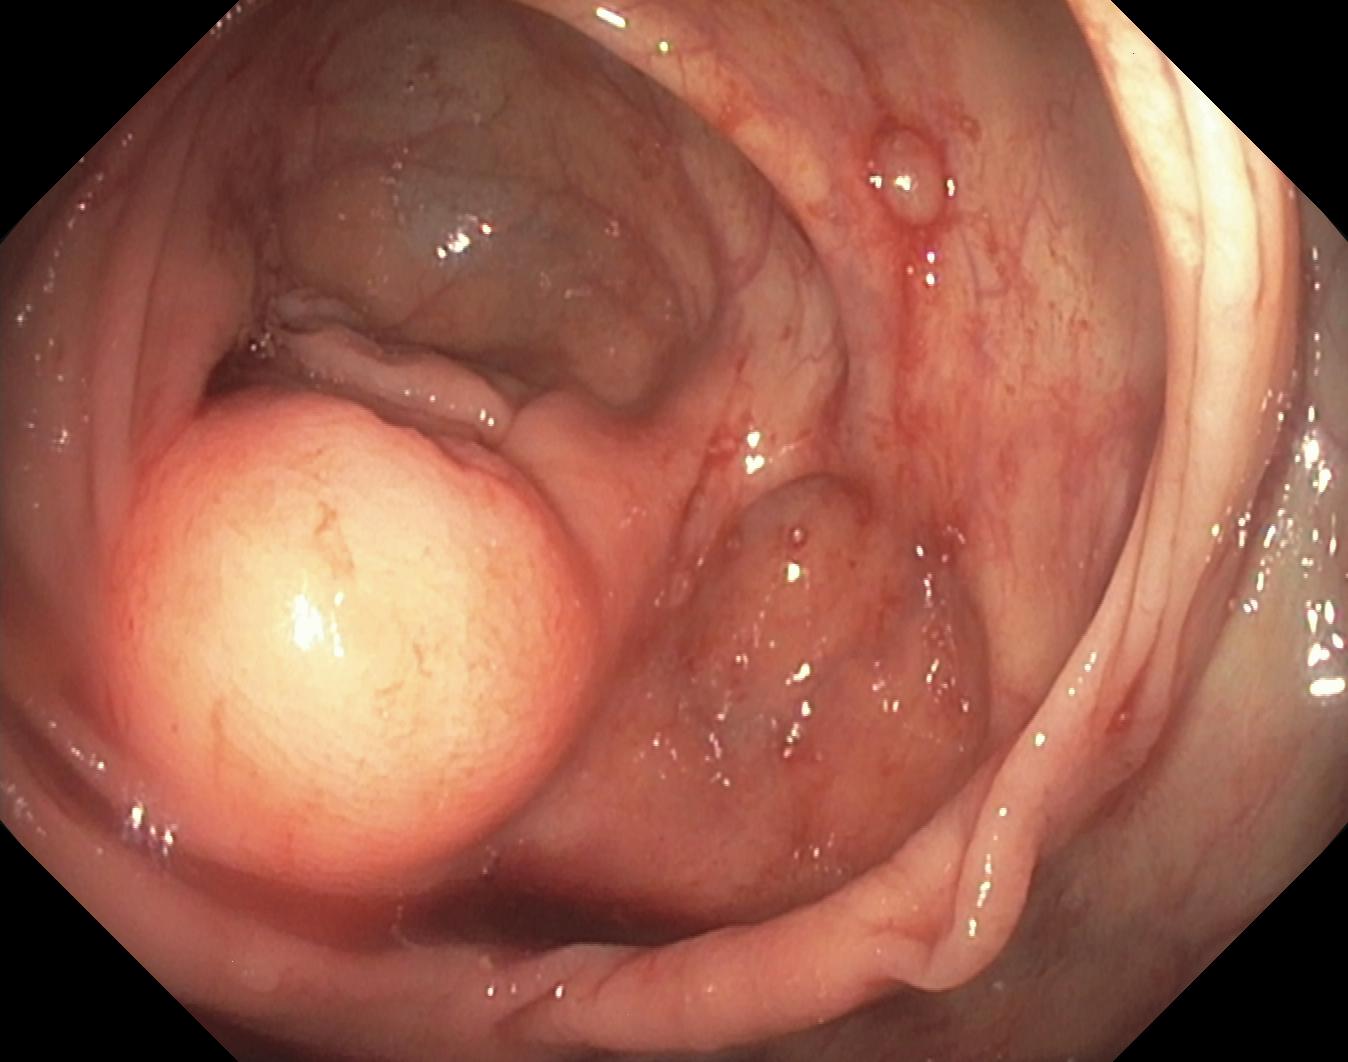This endoscopy frame of the lower GI tract shows colorectal polyp(s).